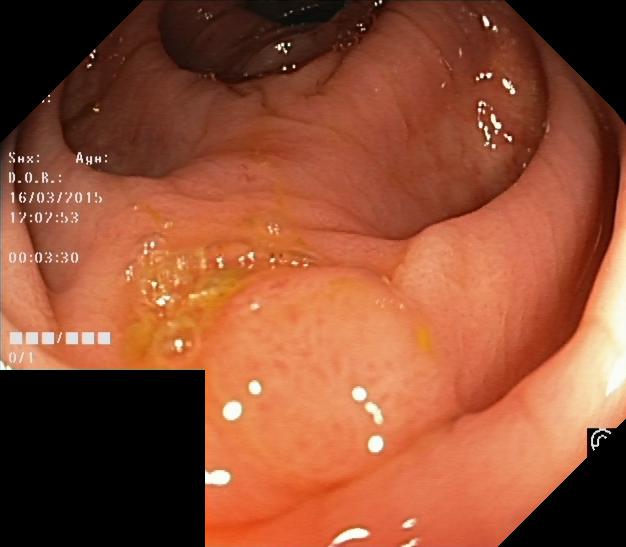This endoscopy frame of the lower GI tract shows colorectal polyp(s).